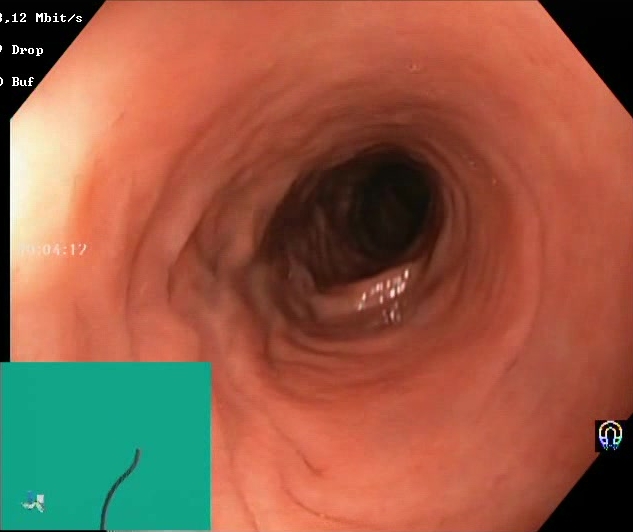Lower-GI endoscopy — Boston Bowel Preparation Scale score 2–3 (adequate preparation).